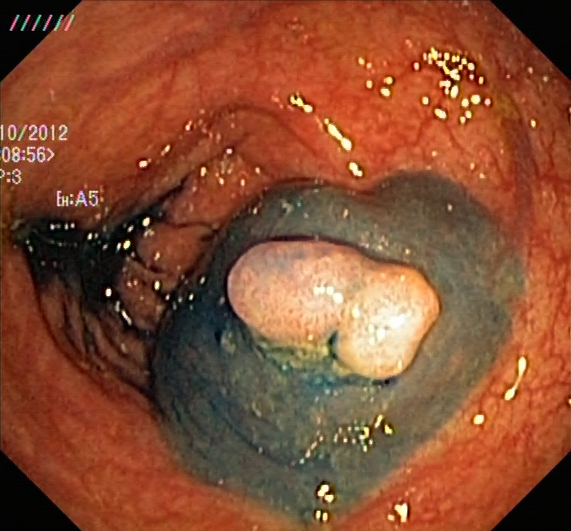Gastrointestinal endoscopy image showing dyed and lifted polyp (pre-resection).